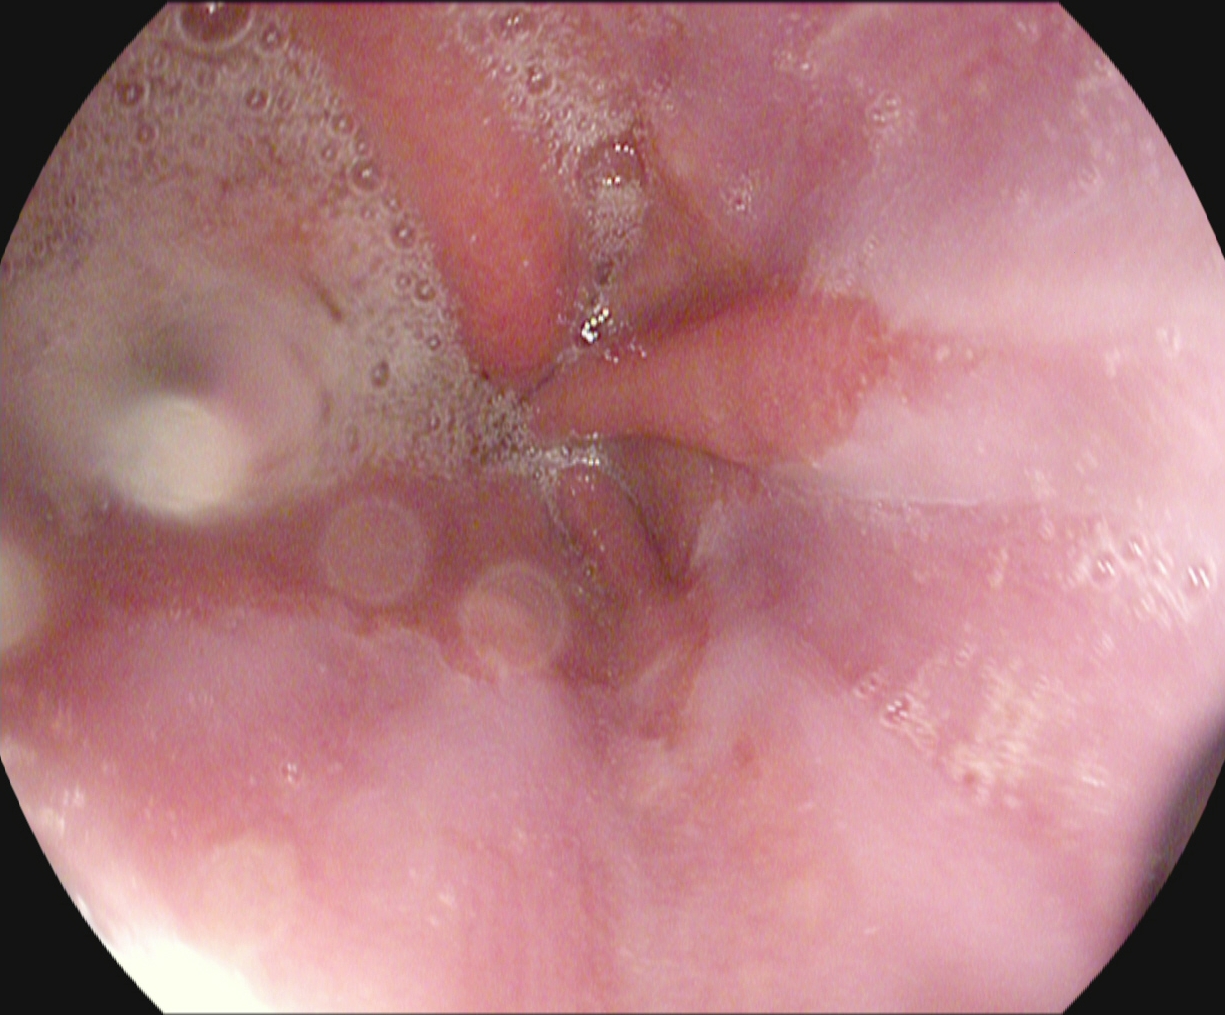This endoscopy frame shows reflux esophagitis, Los Angeles grade A.